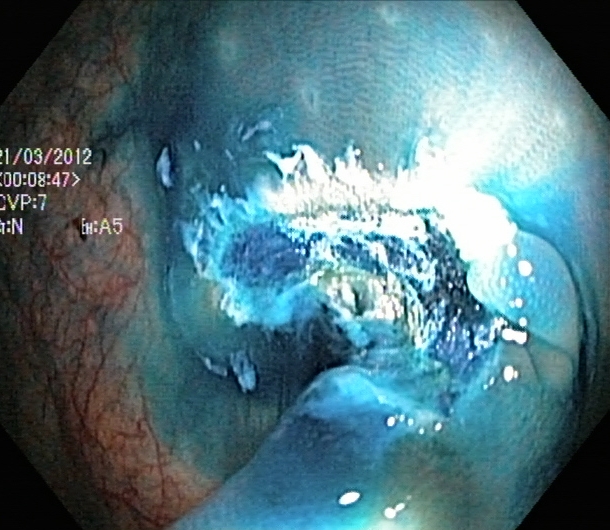{"modality": "lower gastrointestinal endoscopy", "tract": "lower GI tract", "category": "therapeutic intervention", "finding": "dyed resection margins (post-polypectomy)"}